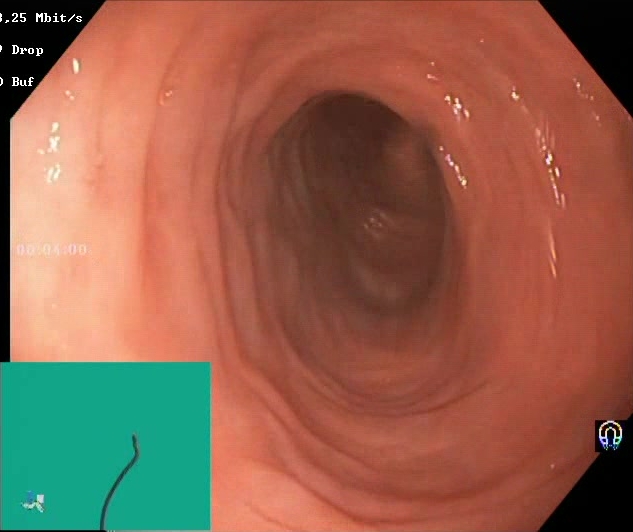Boston Bowel Preparation Scale score 2–3 (adequate preparation).